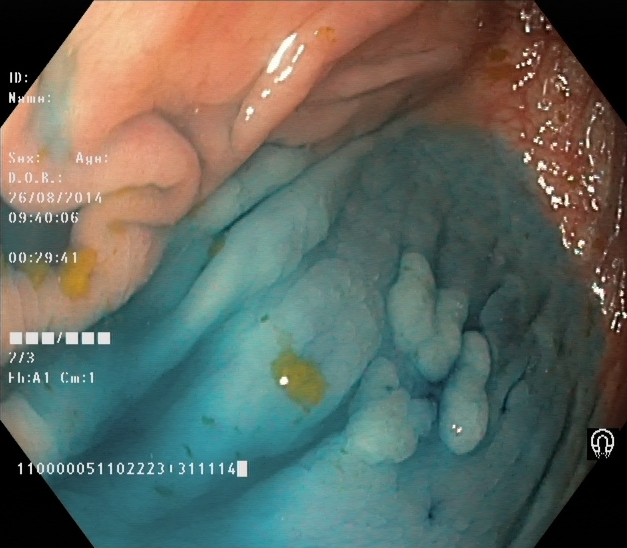This endoscopy frame of the lower GI tract shows dyed and lifted polyp (pre-resection).